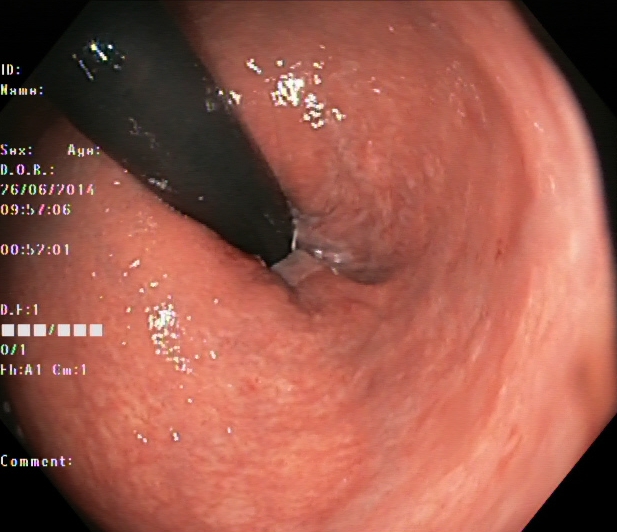Rectum in retroflexion.